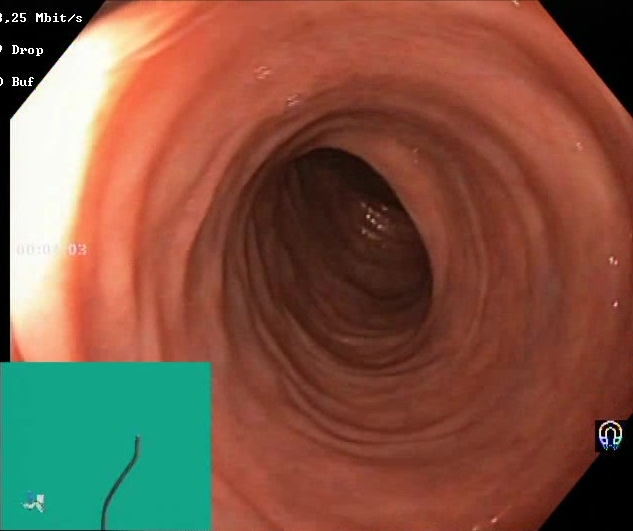{"modality": "lower-GI endoscopy", "tract": "lower GI tract", "finding": "Boston Bowel Preparation Scale score 2\u20133 (adequate preparation)"}